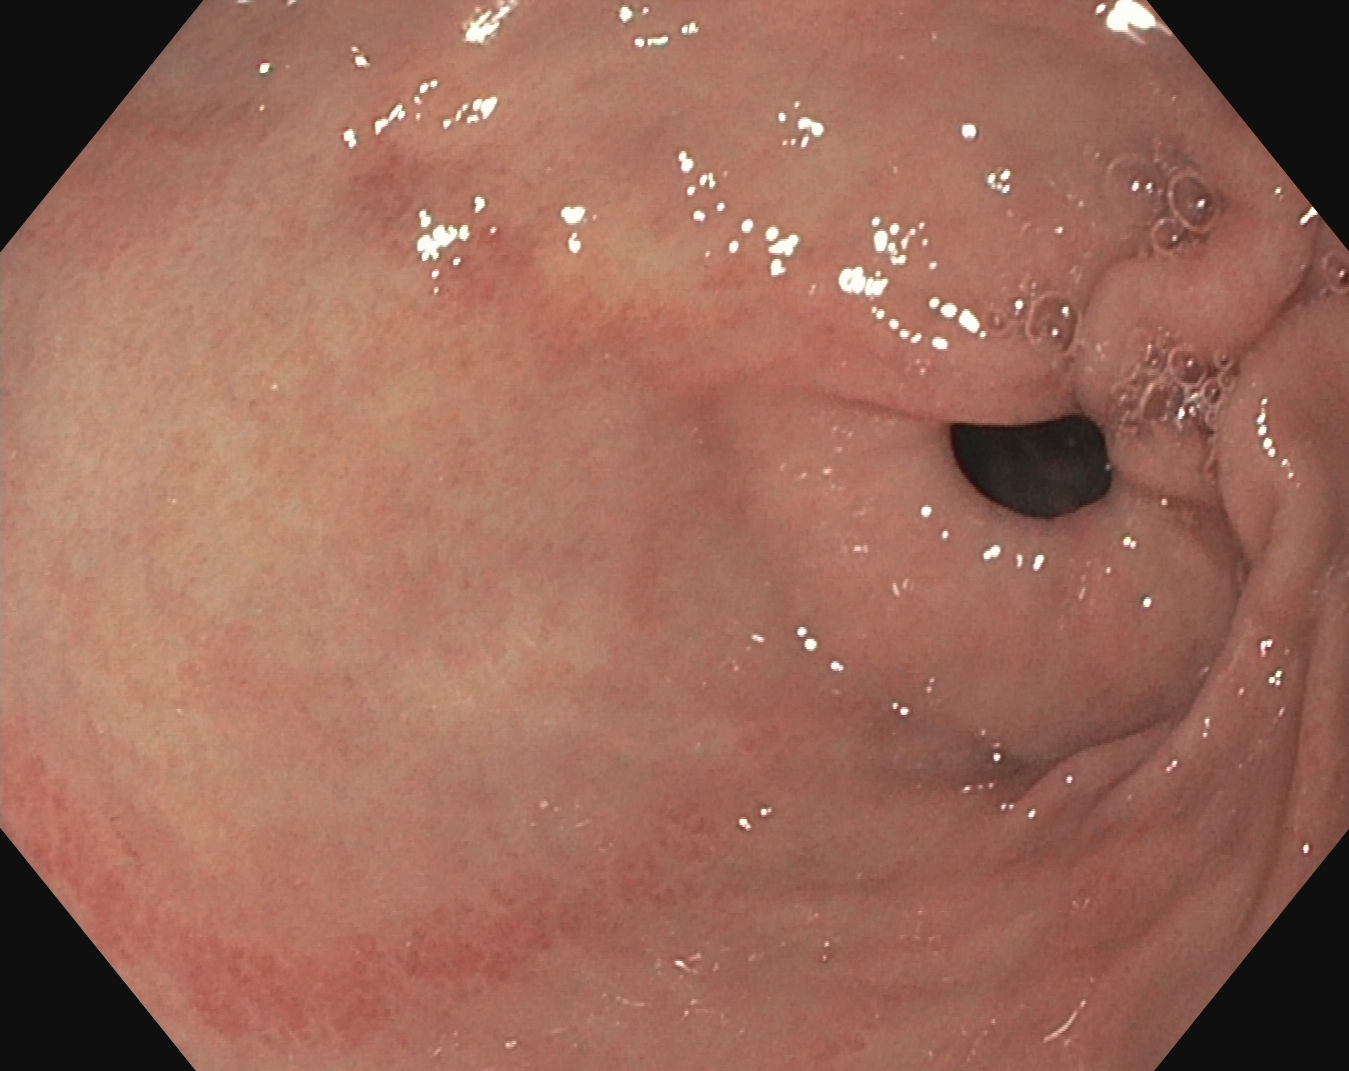Pylorus.